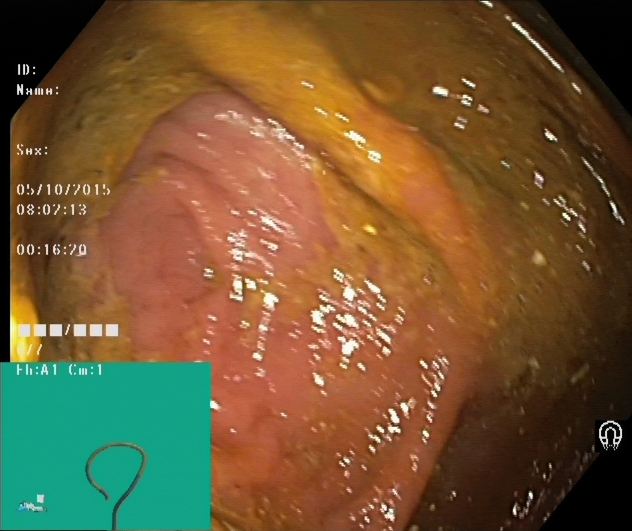This endoscopic image of the lower GI tract shows cecum.